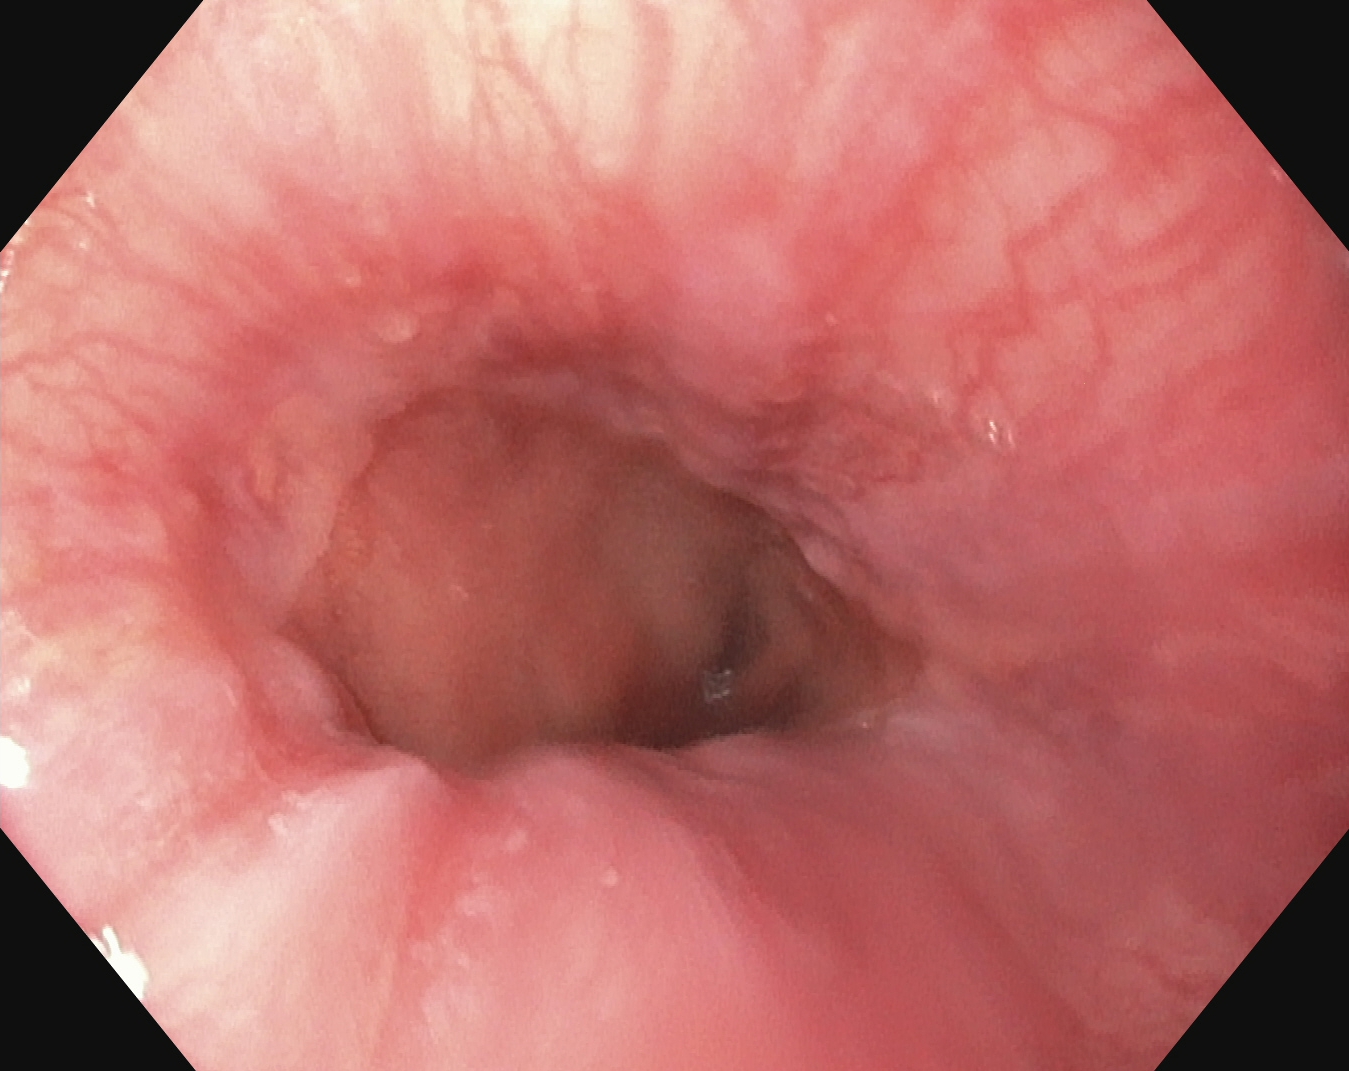Endoscopy image showing Z-line (gastroesophageal junction).